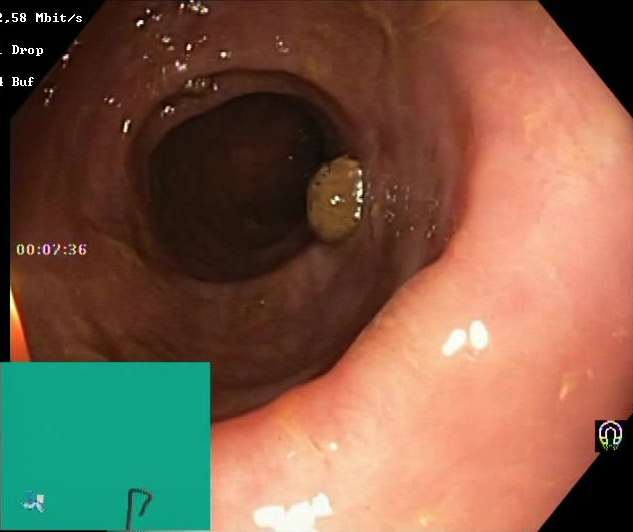Boston Bowel Preparation Scale score 2–3 (adequate preparation).